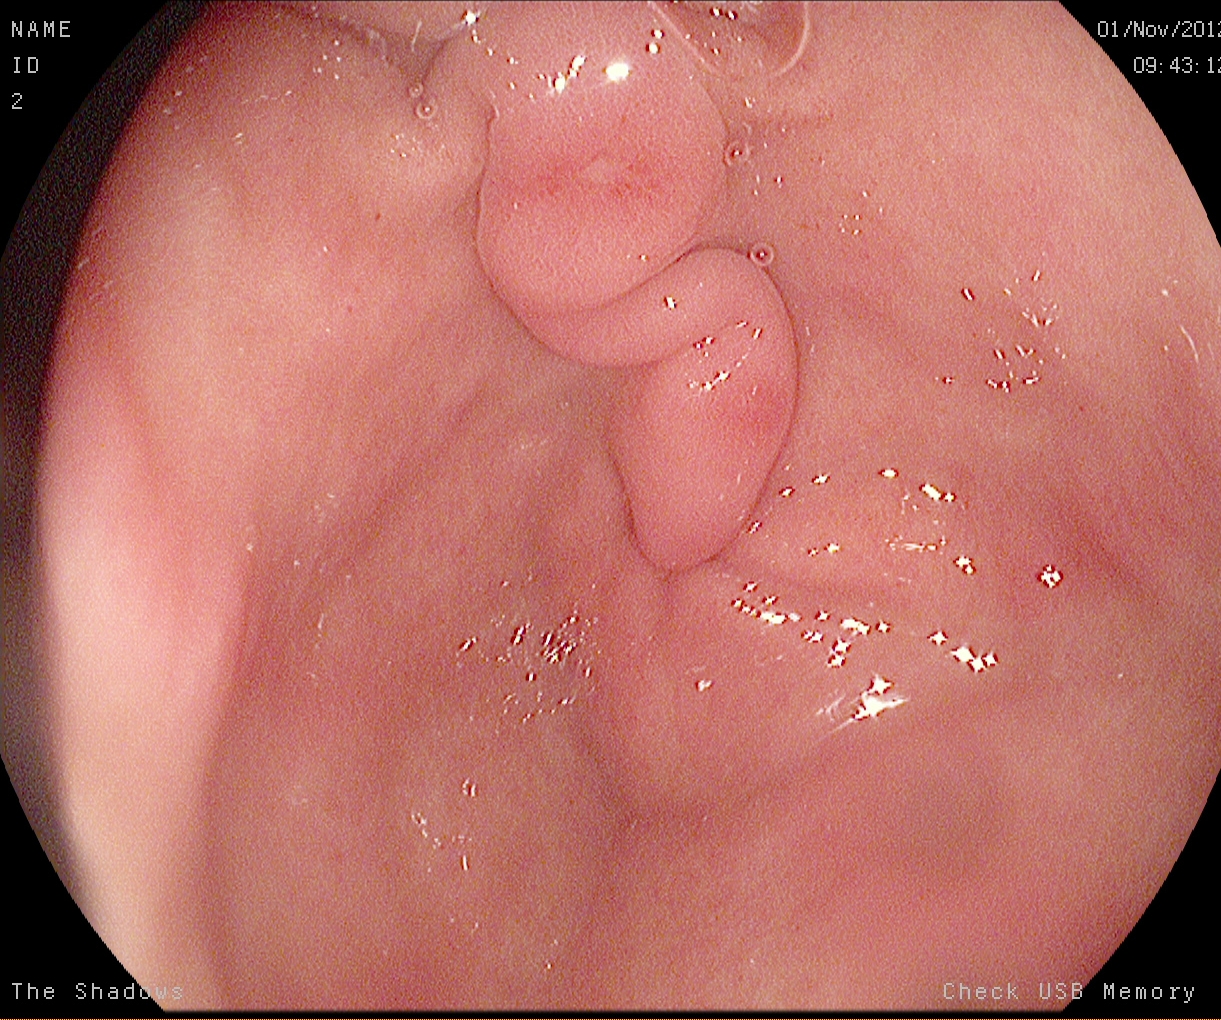pylorus.